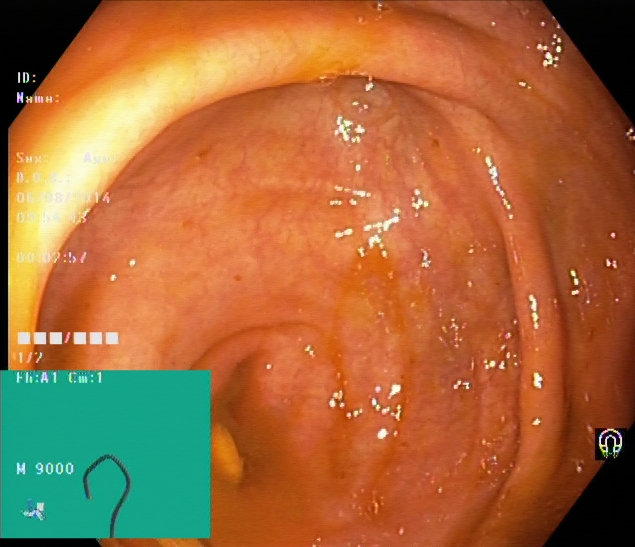Colonoscopy — cecum.